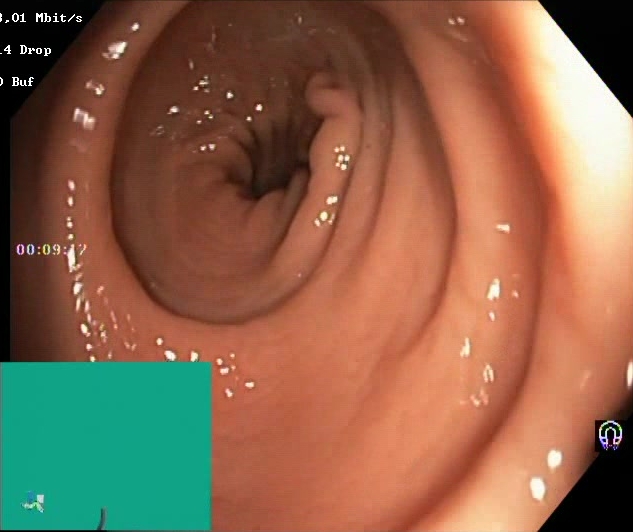Colonoscopy image showing BBPS score 2–3 (adequate preparation).